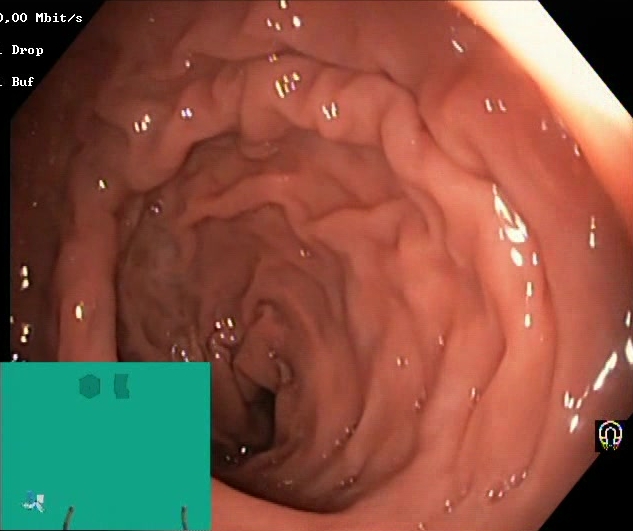BBPS score 2–3 (adequate preparation).